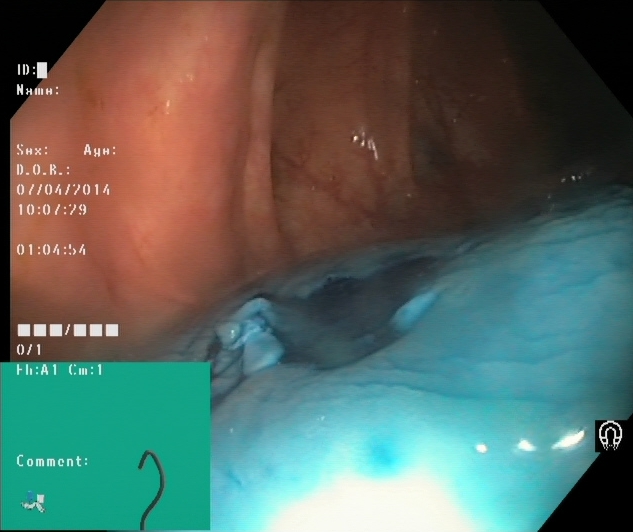Dyed resection margins (post-polypectomy).